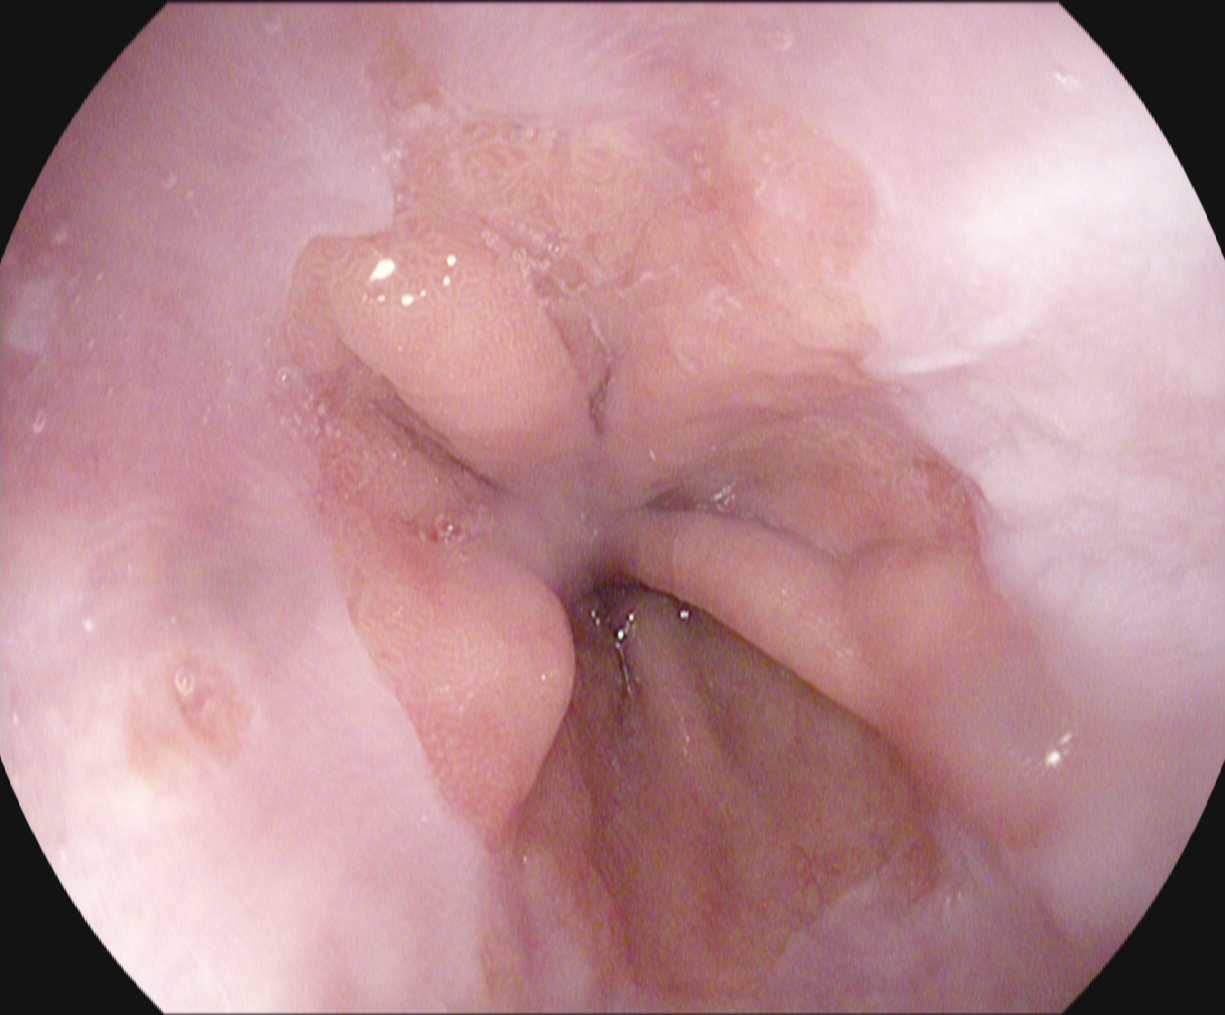This endoscopic image of the upper GI tract shows Z-line (gastroesophageal junction).